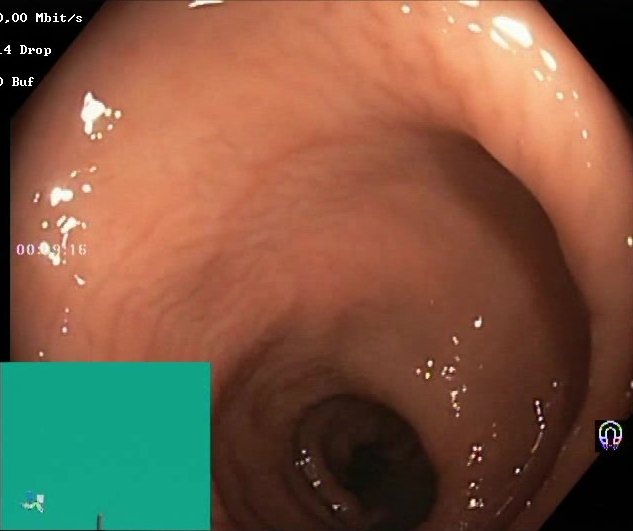This endoscopic image of the lower GI tract shows BBPS score 2–3 (adequate preparation).